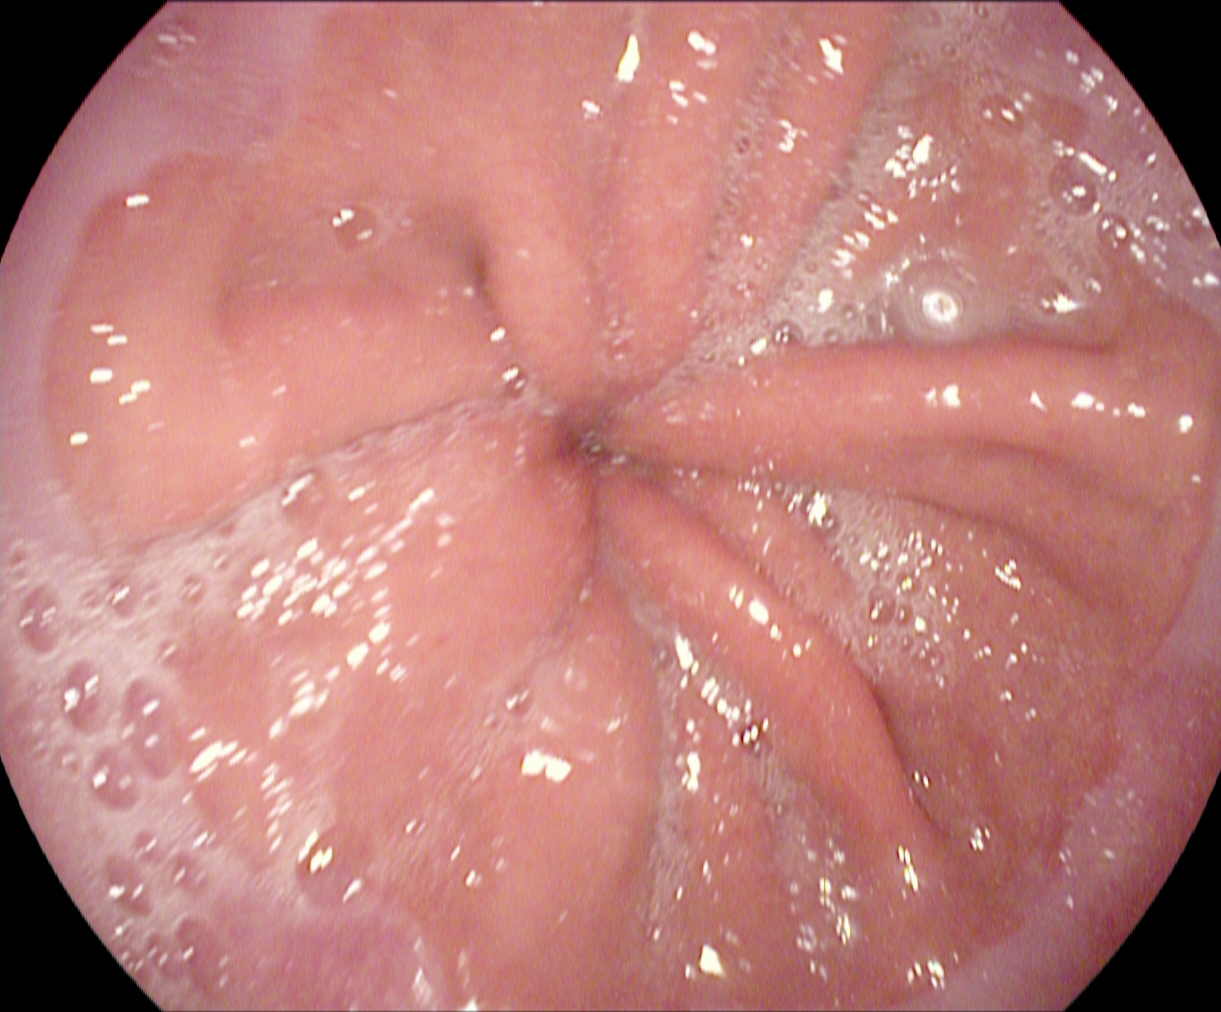GI endoscopy image showing Z-line (gastroesophageal junction).